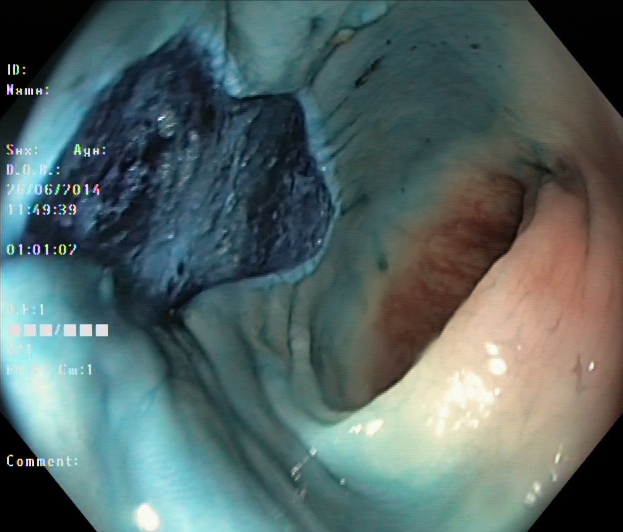Dyed resection margins (post-polypectomy).